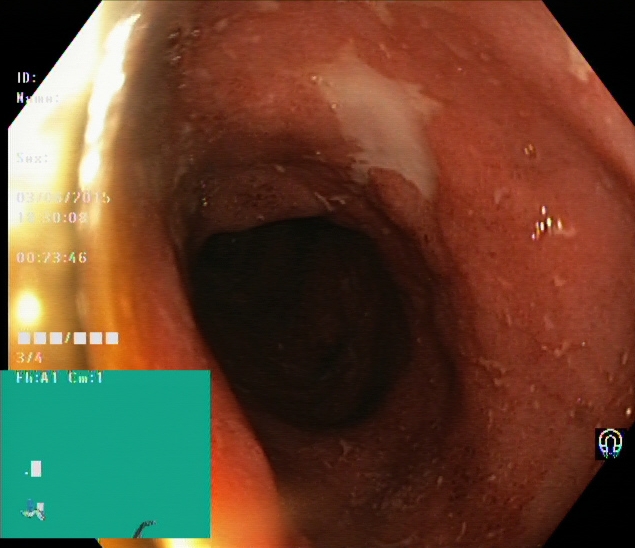Lower-GI endoscopy image of the lower GI tract showing UC, Mayo endoscopic subscore 3.